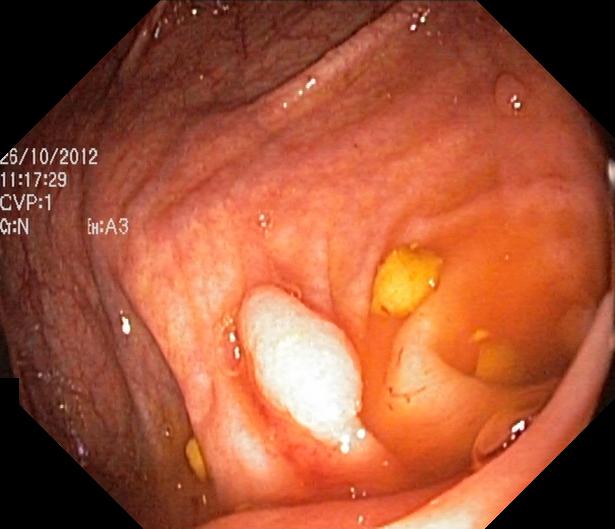modality: lower gastrointestinal endoscopy; finding: colorectal polyp(s)